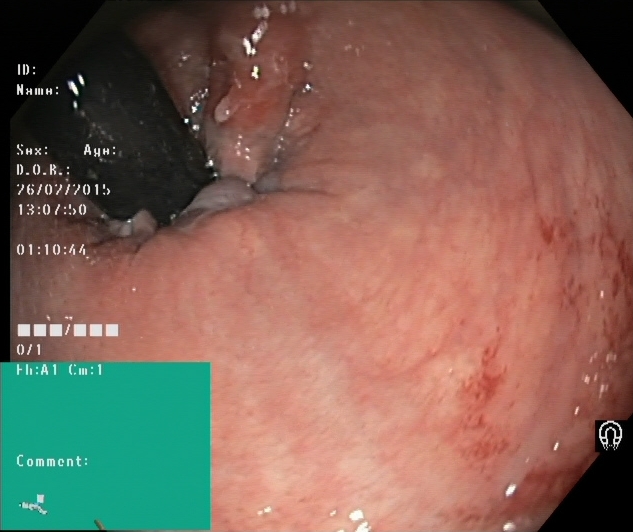Lower-GI endoscopy. Tract: lower GI tract. Finding: rectum in retroflexion.